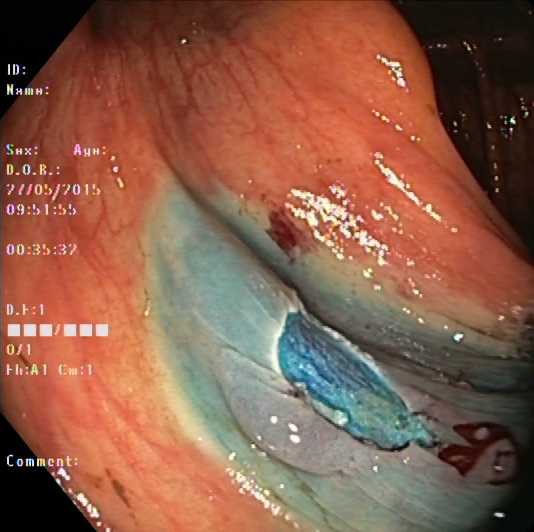dyed resection margins (post-polypectomy).